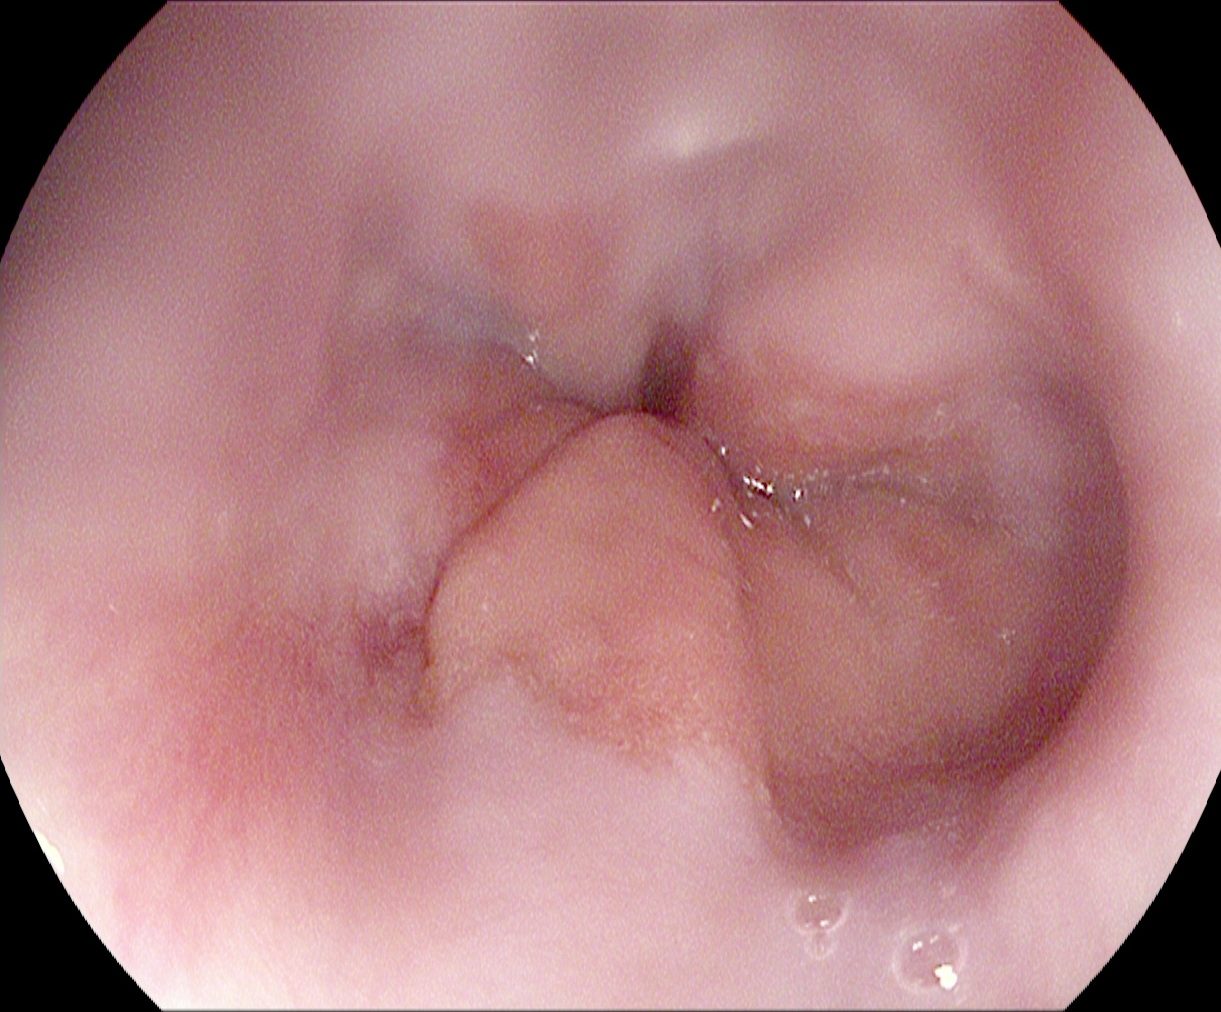Z-line (gastroesophageal junction).